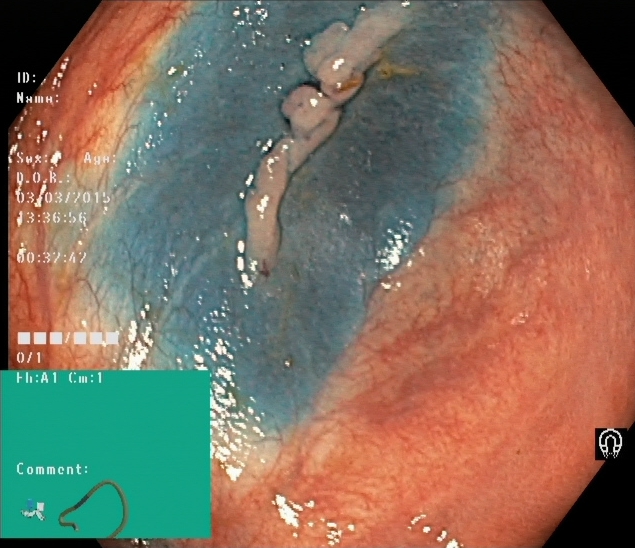Lower gastrointestinal endoscopy — dyed and lifted polyp (pre-resection).